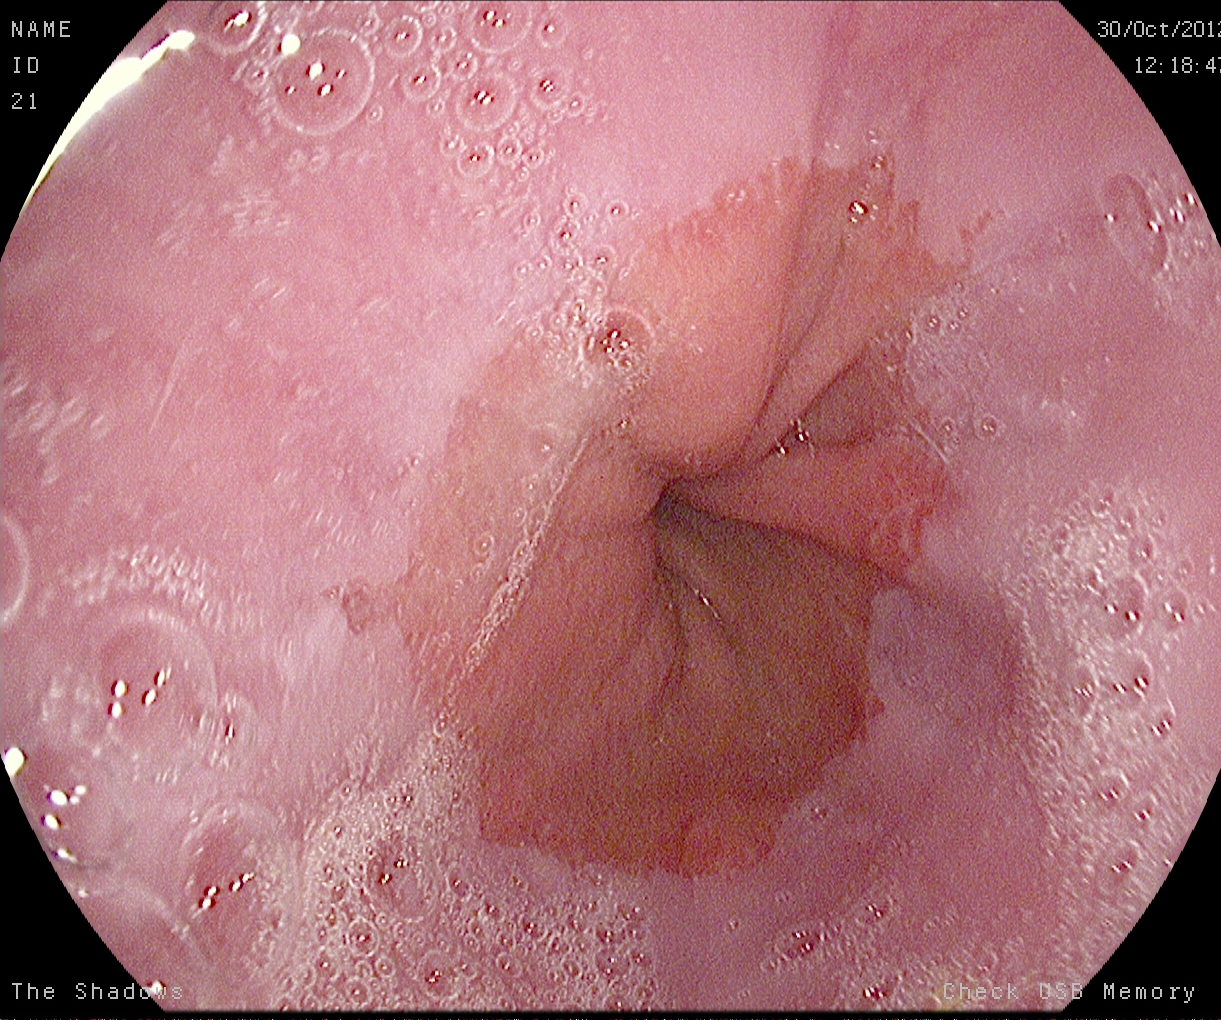{"modality": "gastroscopy", "tract": "upper GI tract", "finding": "reflux esophagitis, LA grade A"}